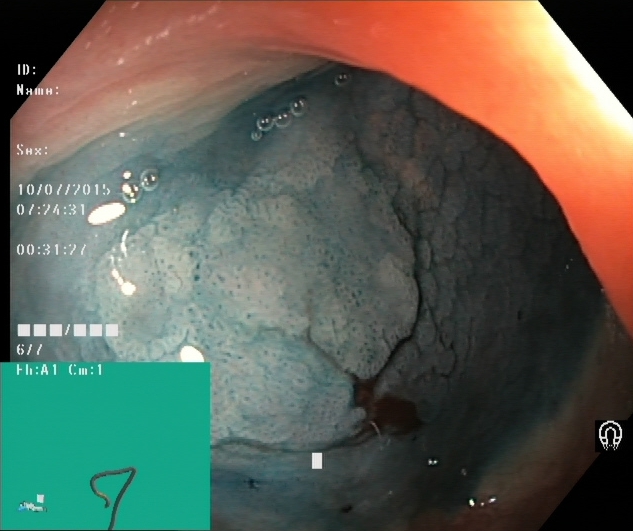GI endoscopy image showing dyed and lifted polyp (pre-resection).